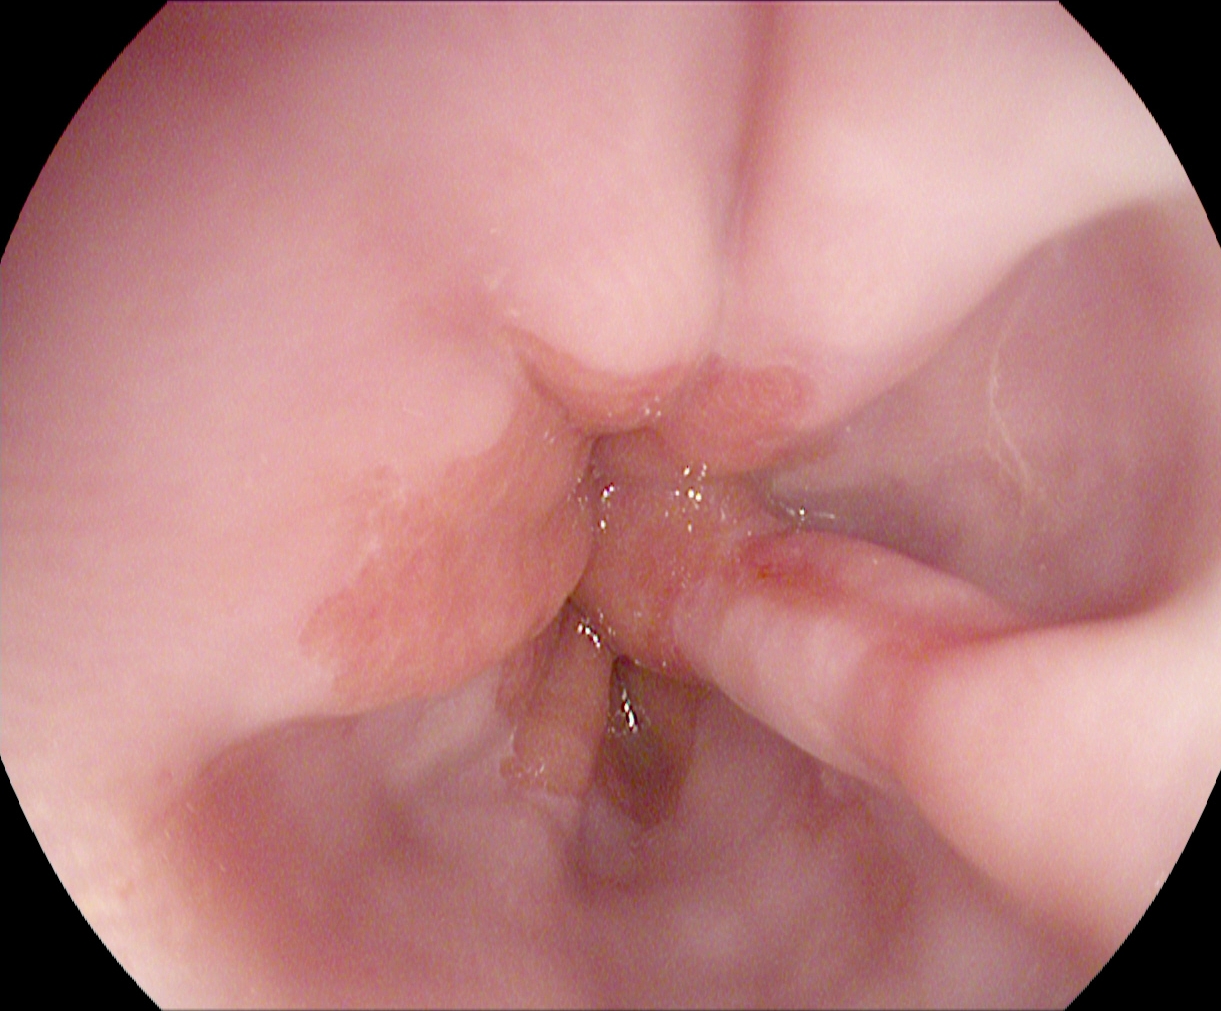EGD — reflux esophagitis, LA grade A.